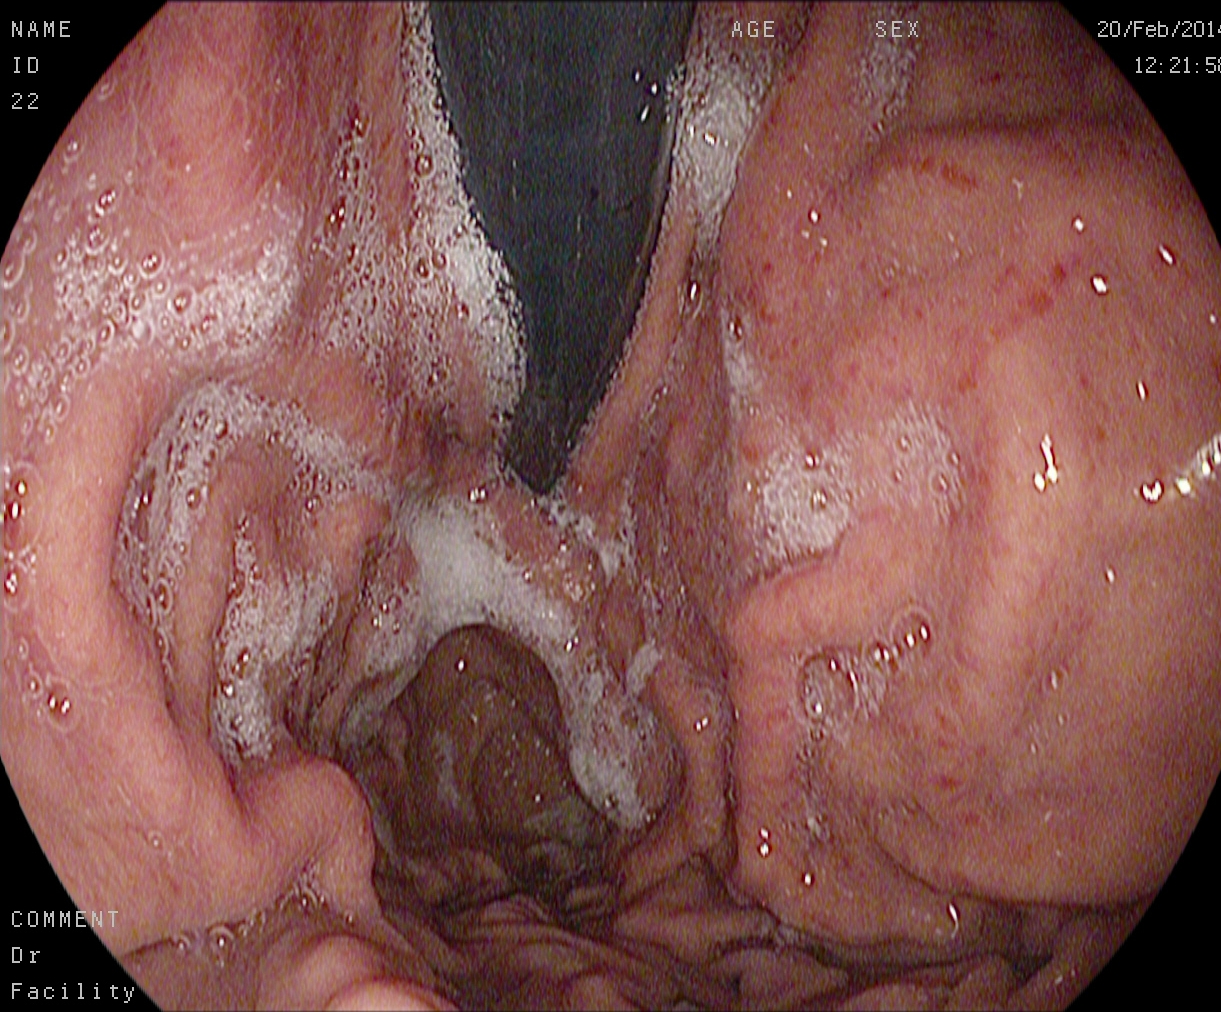{"modality": "gastroscopy", "tract": "upper GI tract", "finding": "stomach in retroflexion"}